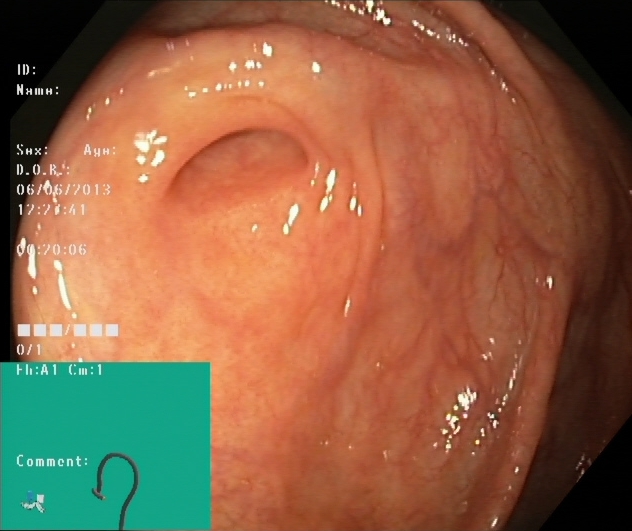PROCEDURE: Colonoscopy.
CATEGORY: Anatomical landmark.
FINDINGS: Cecum.